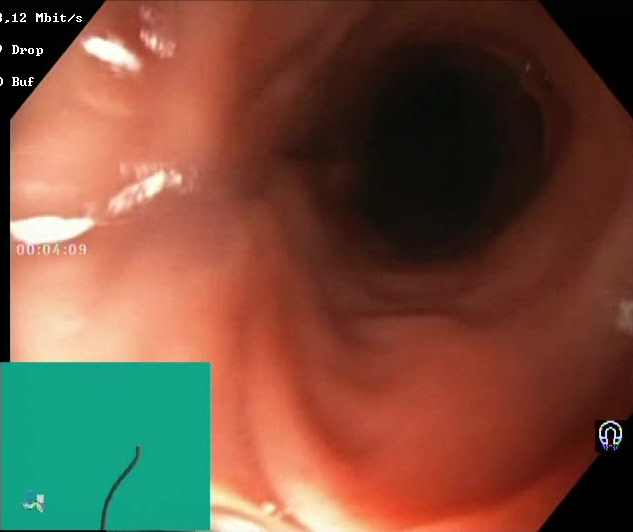Boston Bowel Preparation Scale score 2–3 (adequate preparation).